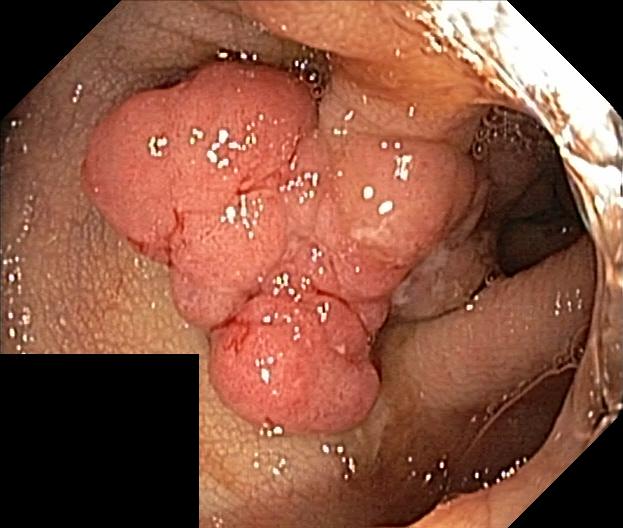Colonoscopy. Tract: lower GI tract. Pathological finding. Finding: colorectal polyp(s).